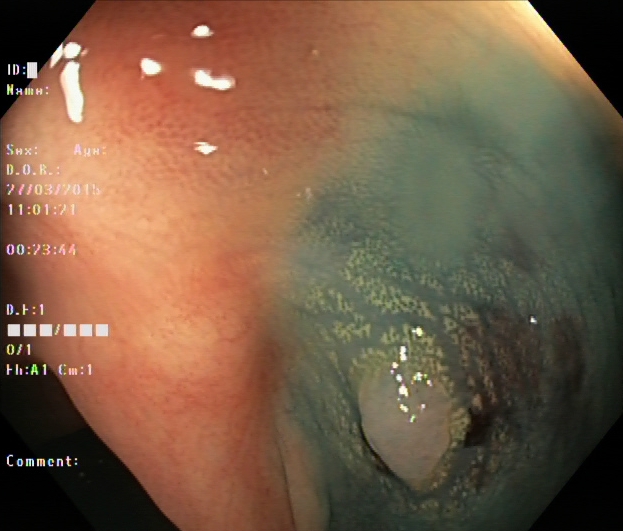Lower-GI endoscopy. Tract: lower GI tract. Finding: dyed and lifted polyp (pre-resection).